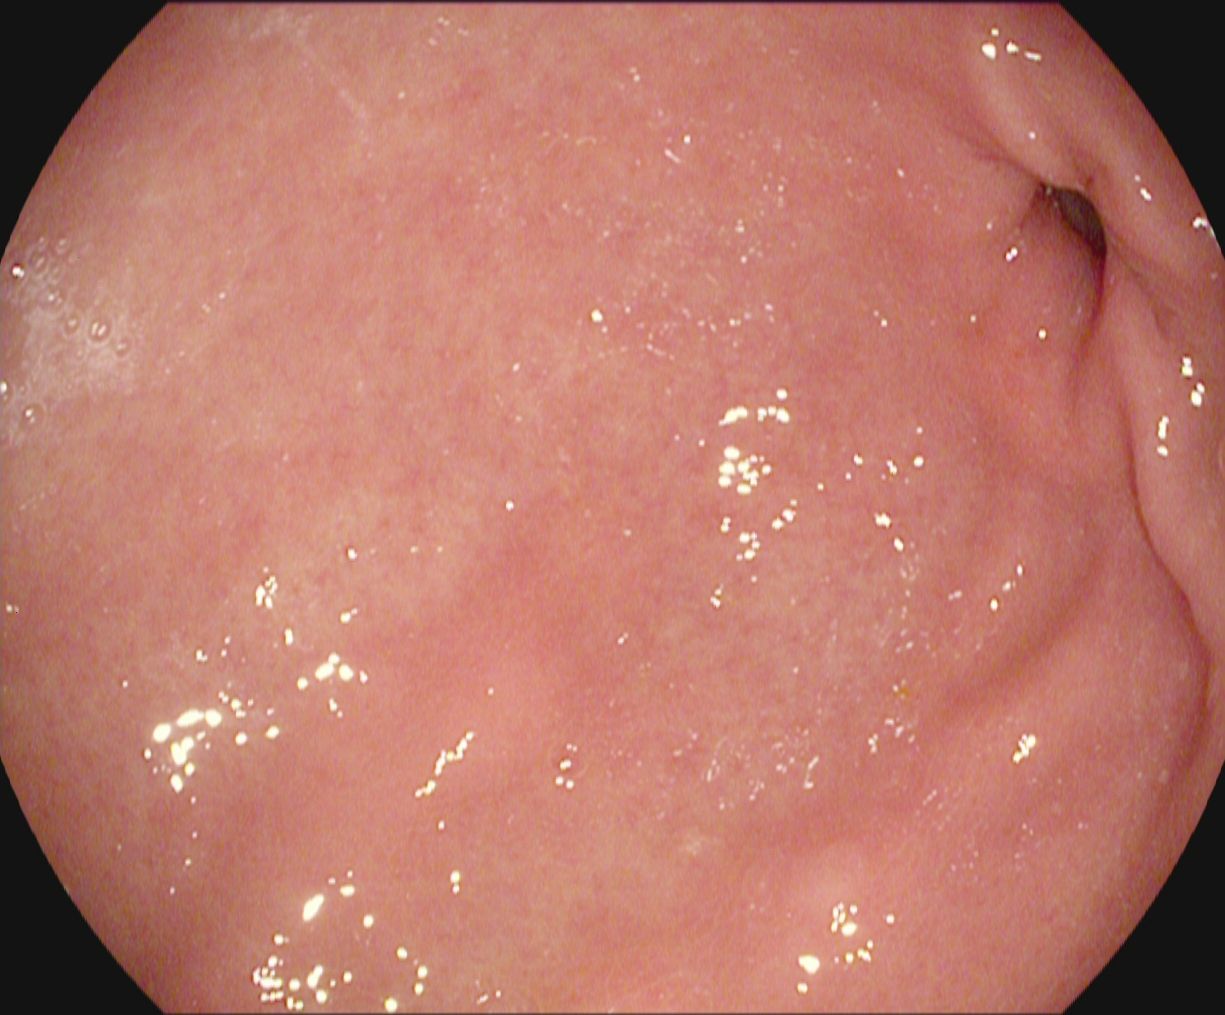PROCEDURE: Upper-GI endoscopy.
FINDINGS: Pylorus.